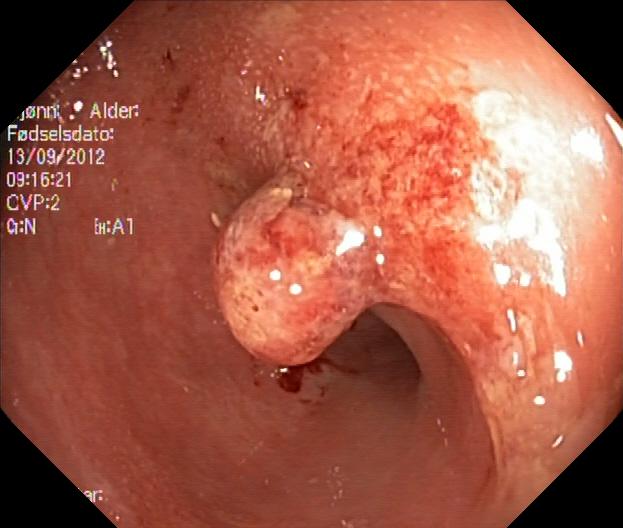This endoscopy frame of the lower GI tract shows colorectal polyp(s).